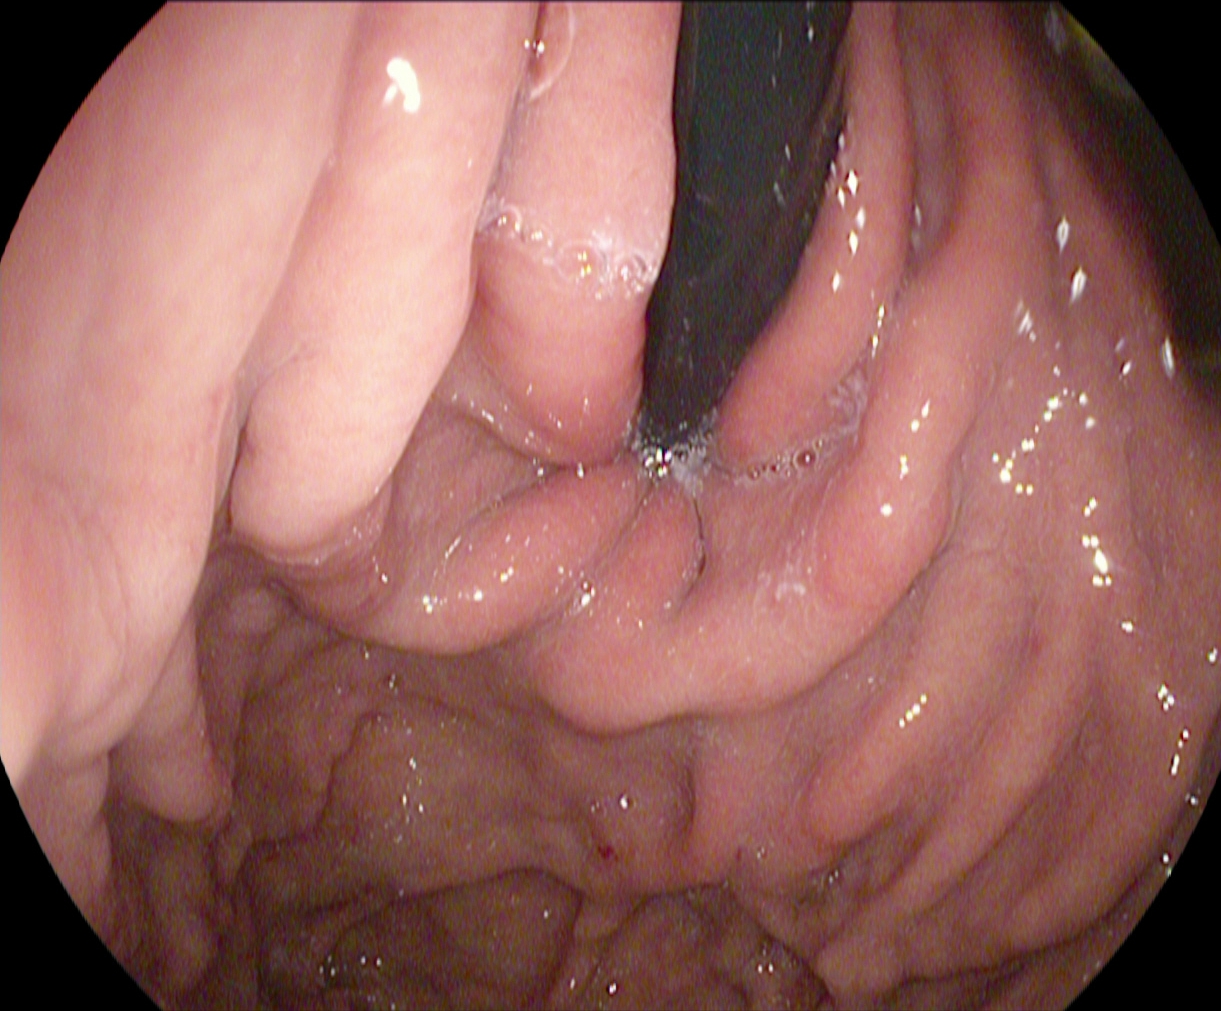modality: upper-GI endoscopy | tract: upper GI tract | finding: stomach in retroflexion